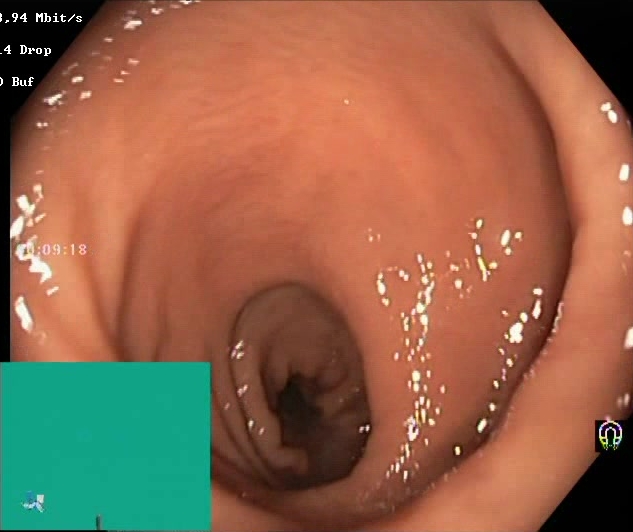Colonoscopy. Tract: lower GI tract. Mucosal-view quality. Finding: Boston Bowel Preparation Scale score 2–3 (adequate preparation).